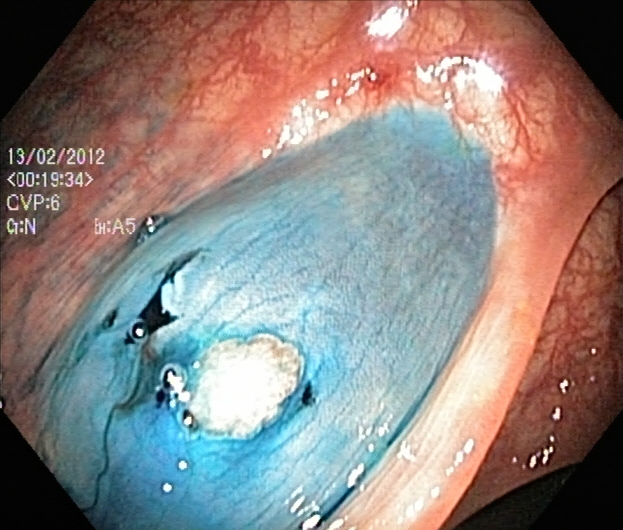Colonoscopy — dyed and lifted polyp (pre-resection).